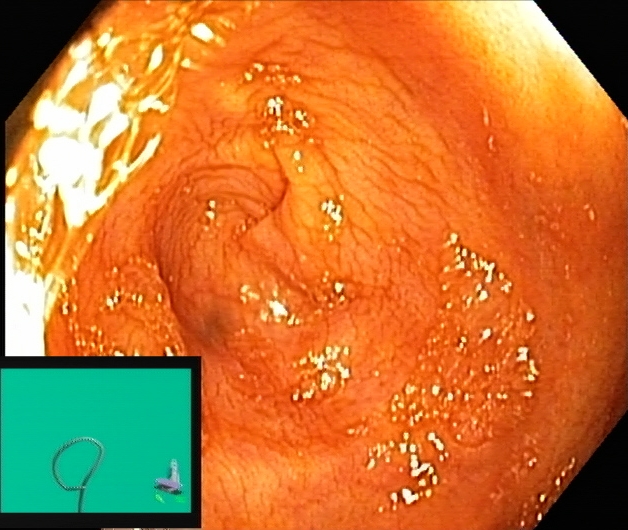Colonoscopy. Tract: lower GI tract. Finding: cecum.